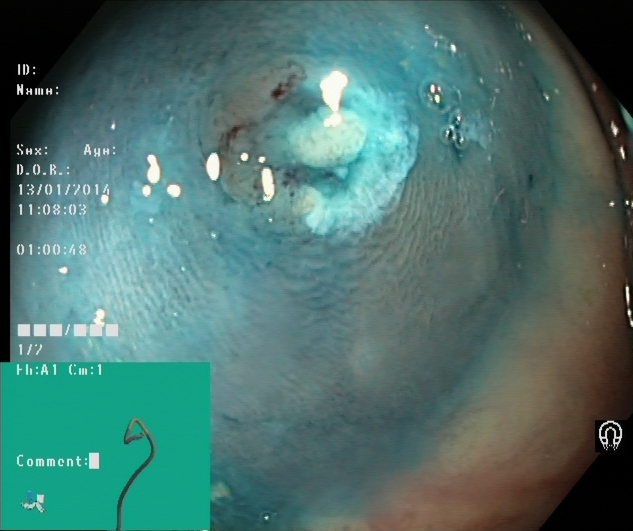{"modality": "lower-GI endoscopy", "tract": "lower GI tract", "category": "therapeutic intervention", "finding": "dyed and lifted polyp (pre-resection)"}